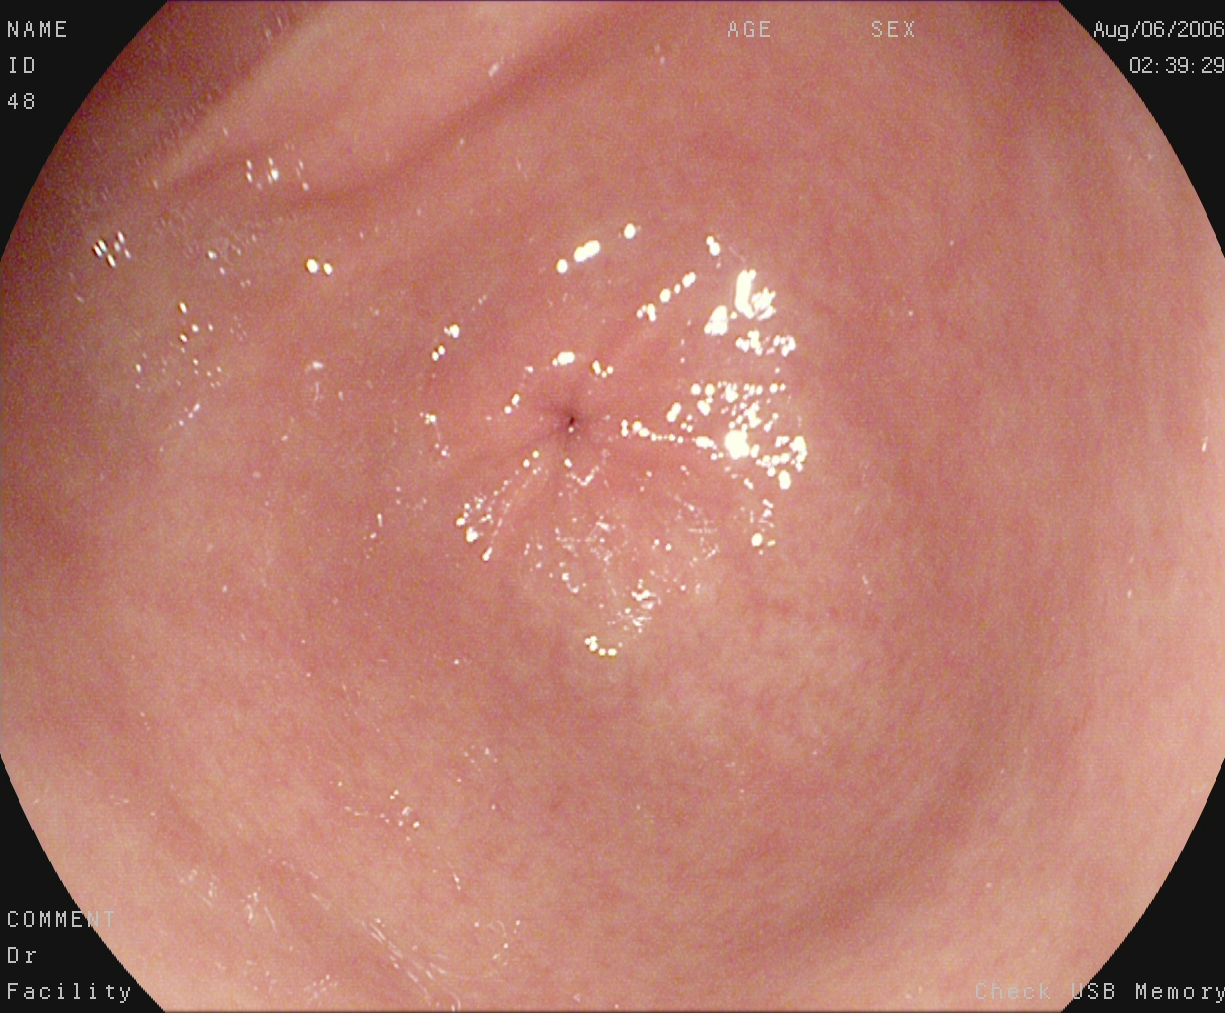This endoscopy frame shows pylorus.